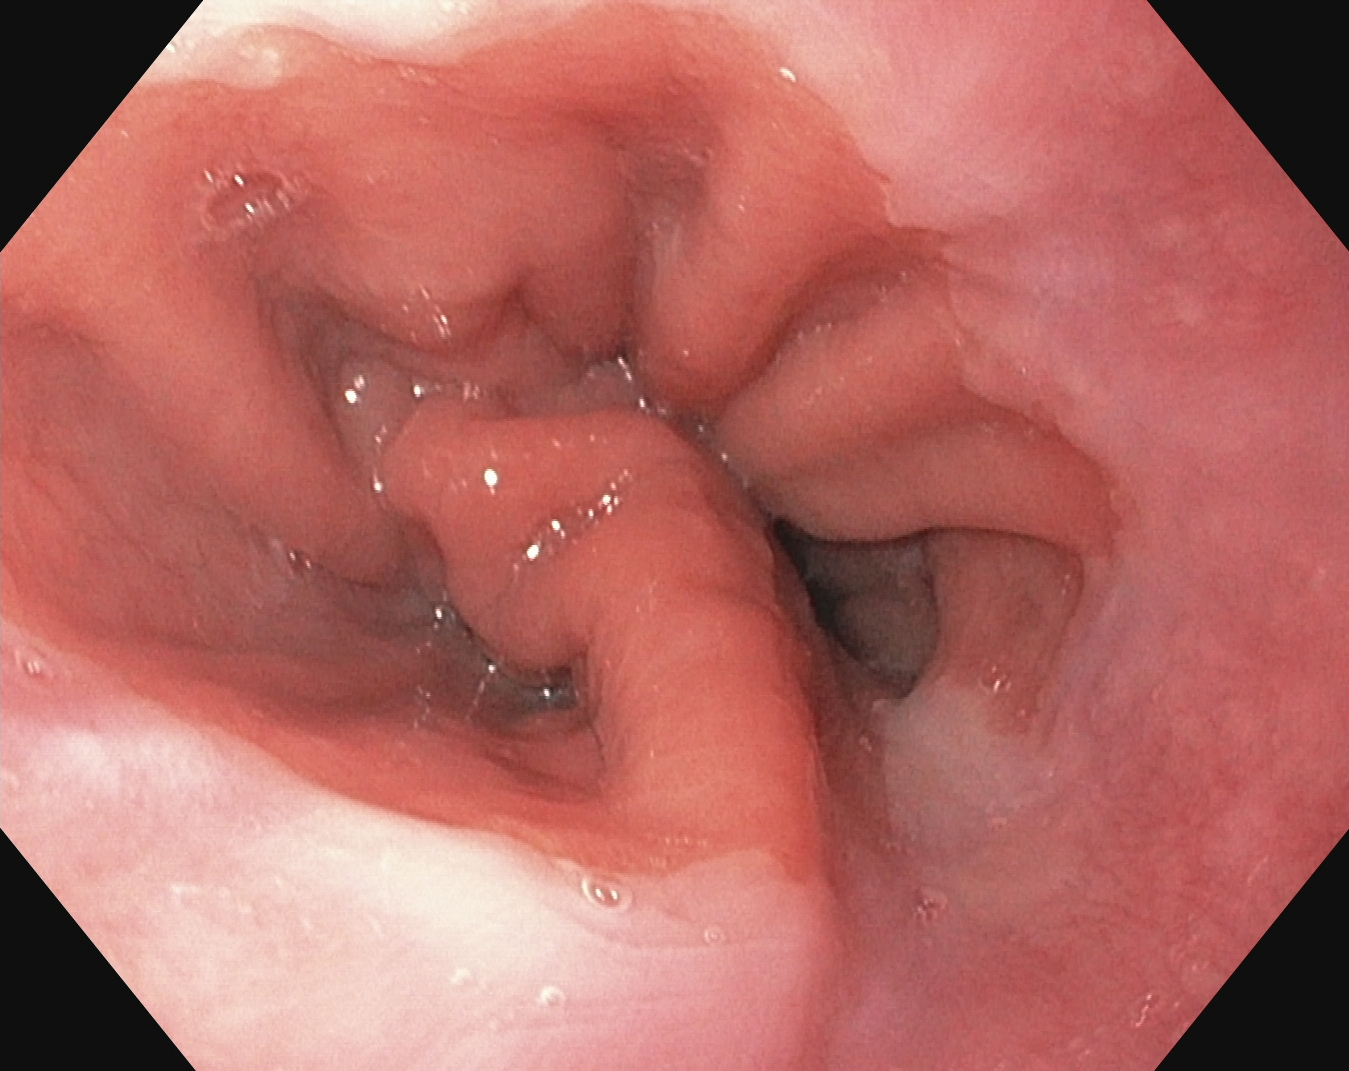{"modality": "upper-GI endoscopy", "category": "anatomical landmark", "finding": "Z-line (gastroesophageal junction)"}